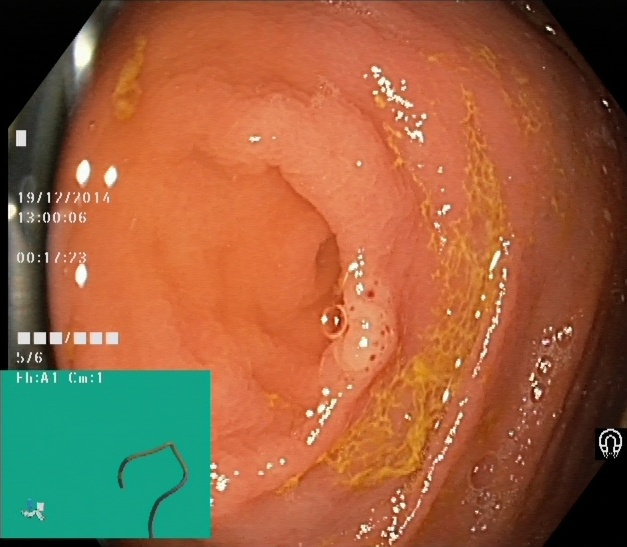cecum.